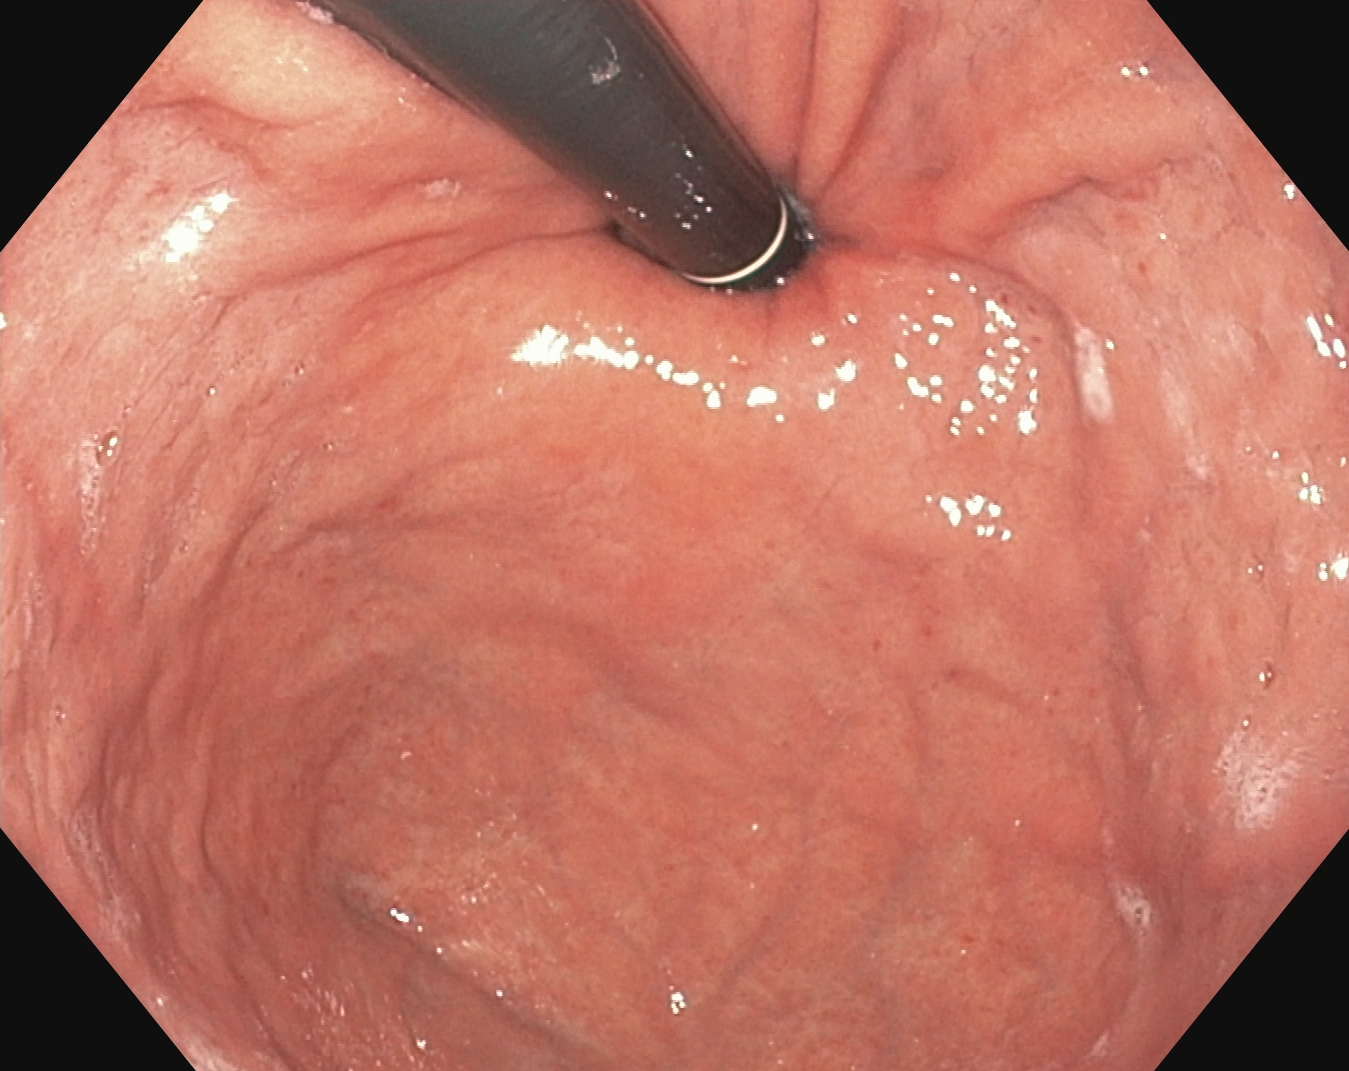EGD. Tract: upper GI tract. Anatomical landmark. Finding: stomach in retroflexion.